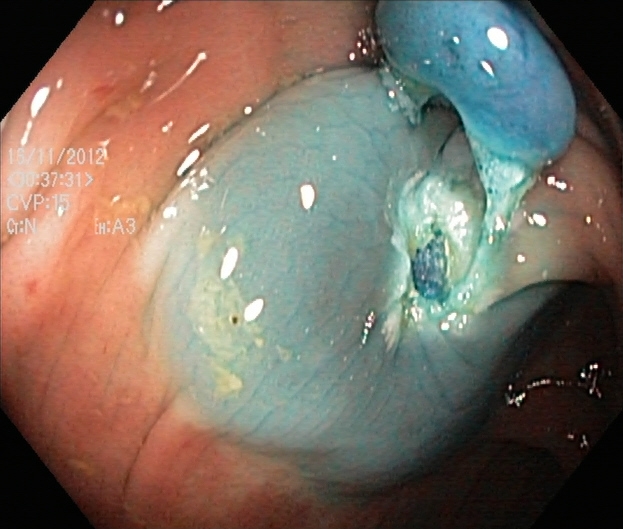Endoscopy image showing dyed and lifted polyp (pre-resection).